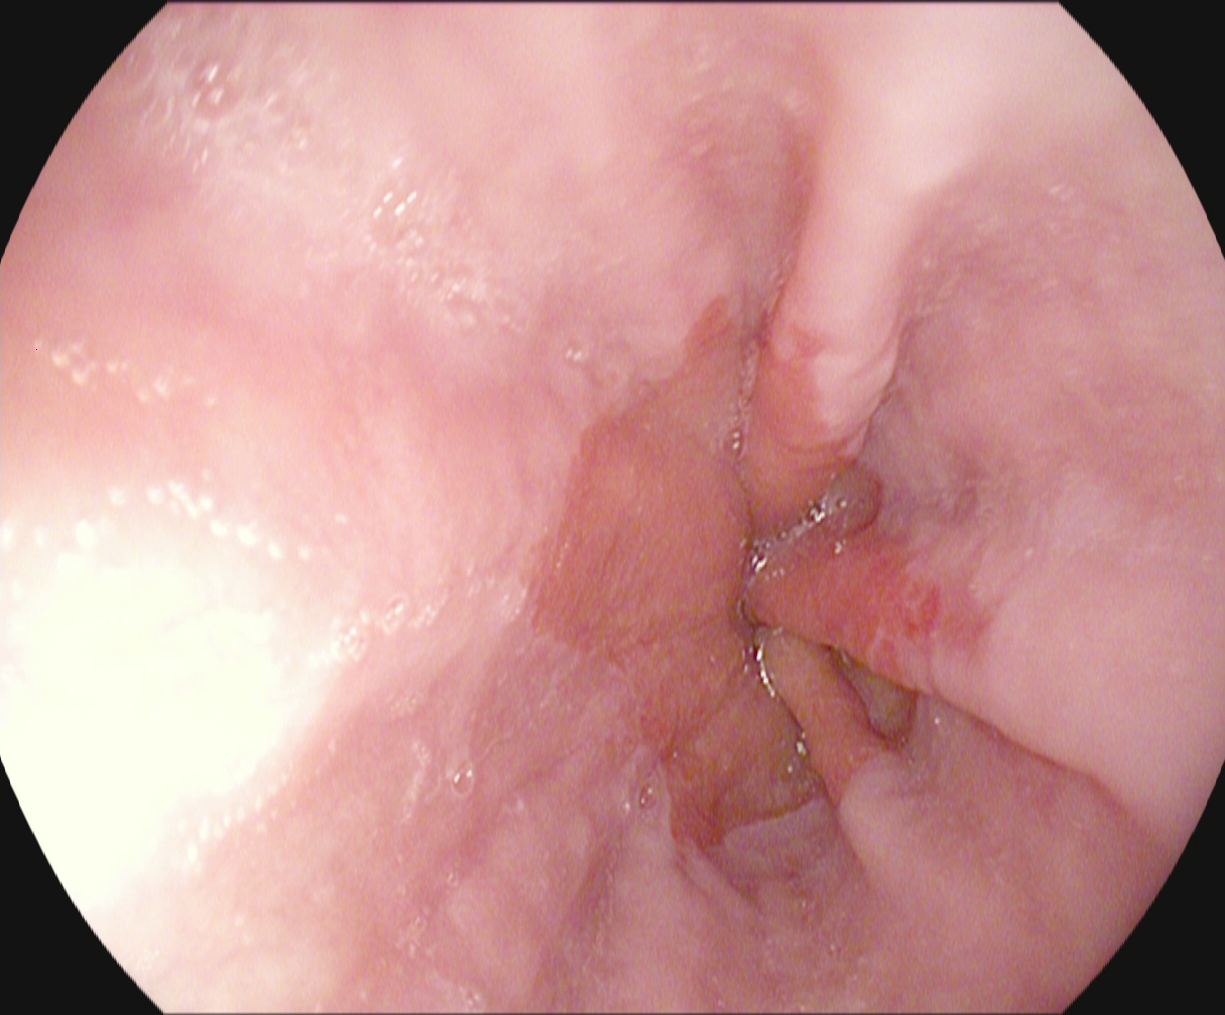modality: esophagogastroduodenoscopy
tract: upper GI tract
finding: reflux esophagitis, LA grade A